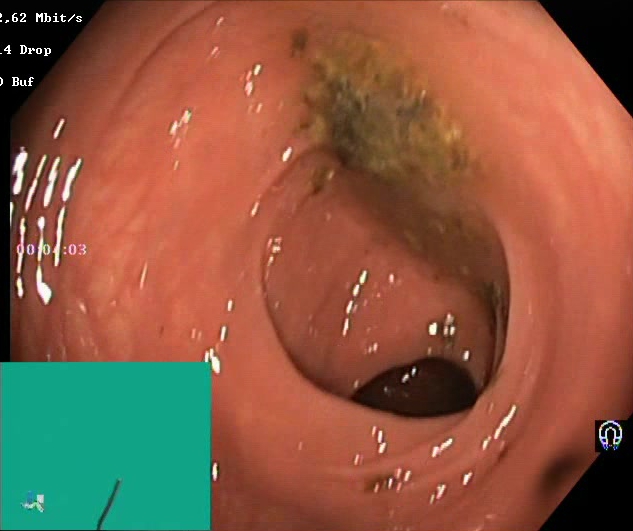Boston Bowel Preparation Scale score 0–1 (inadequate preparation).